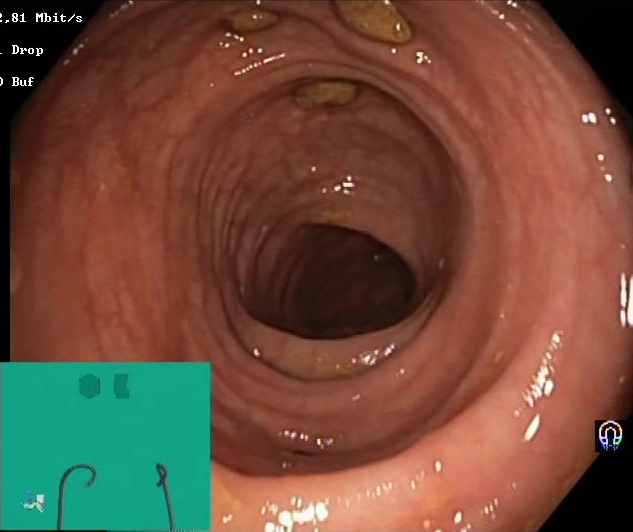This endoscopy frame of the lower GI tract shows impacted stool.